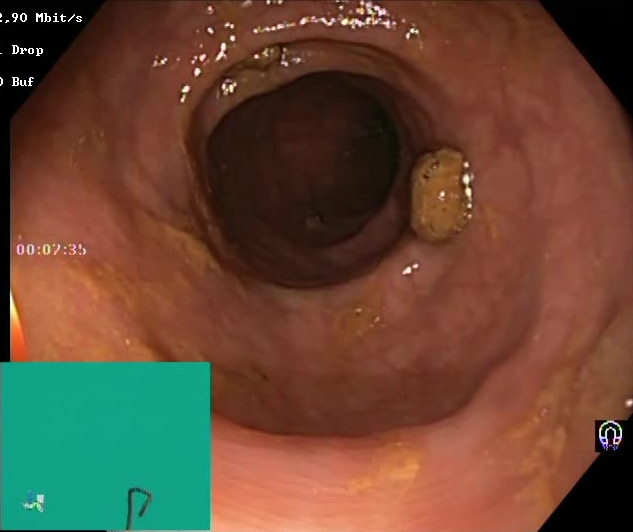PROCEDURE: Colonoscopy.
CATEGORY: Mucosal-view quality.
FINDINGS: Impacted stool.